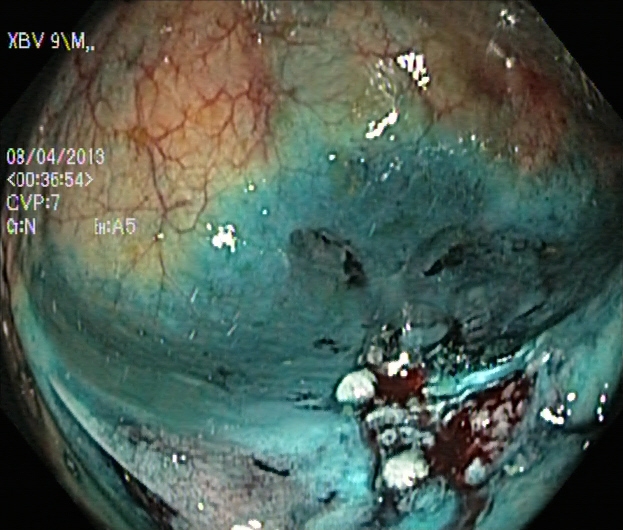PROCEDURE: Lower gastrointestinal endoscopy.
FINDINGS: Dyed resection margins (post-polypectomy).